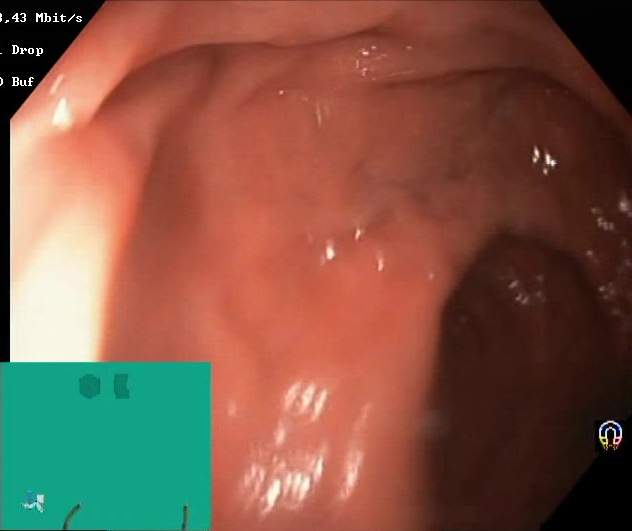modality: lower-GI endoscopy
tract: lower GI tract
finding: Boston Bowel Preparation Scale score 2–3 (adequate preparation)